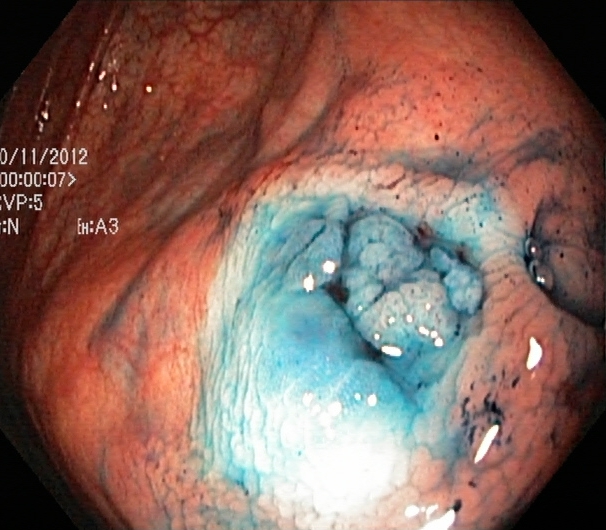Colonoscopy. Tract: lower GI tract. Finding: dyed and lifted polyp (pre-resection).